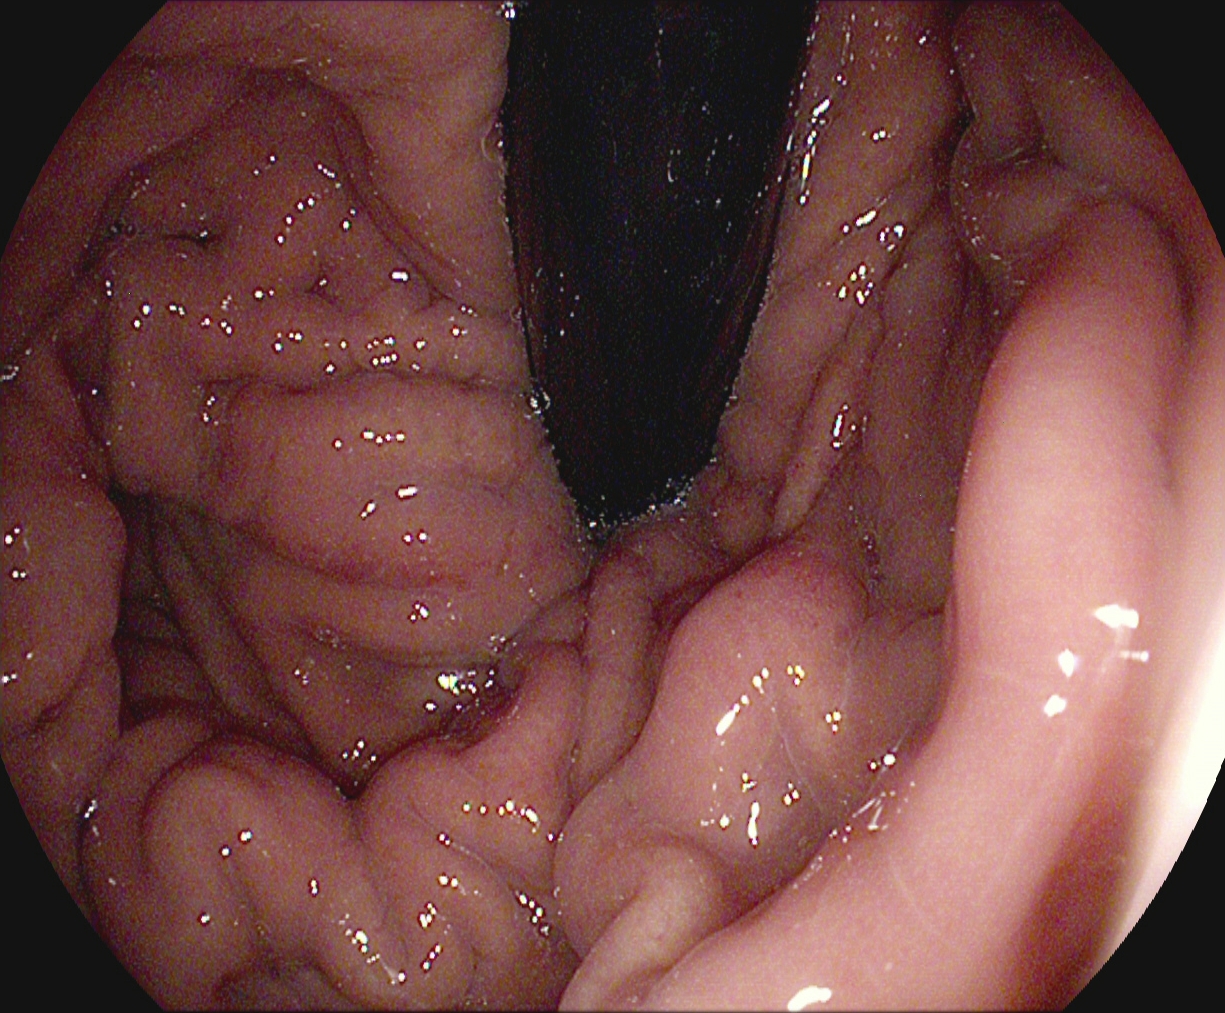EGD image showing stomach in retroflexion.